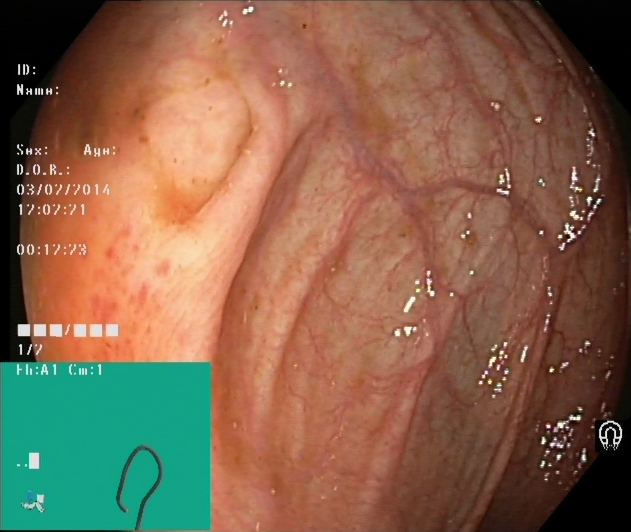Lower-GI endoscopy. Anatomical landmark. Finding: cecum.